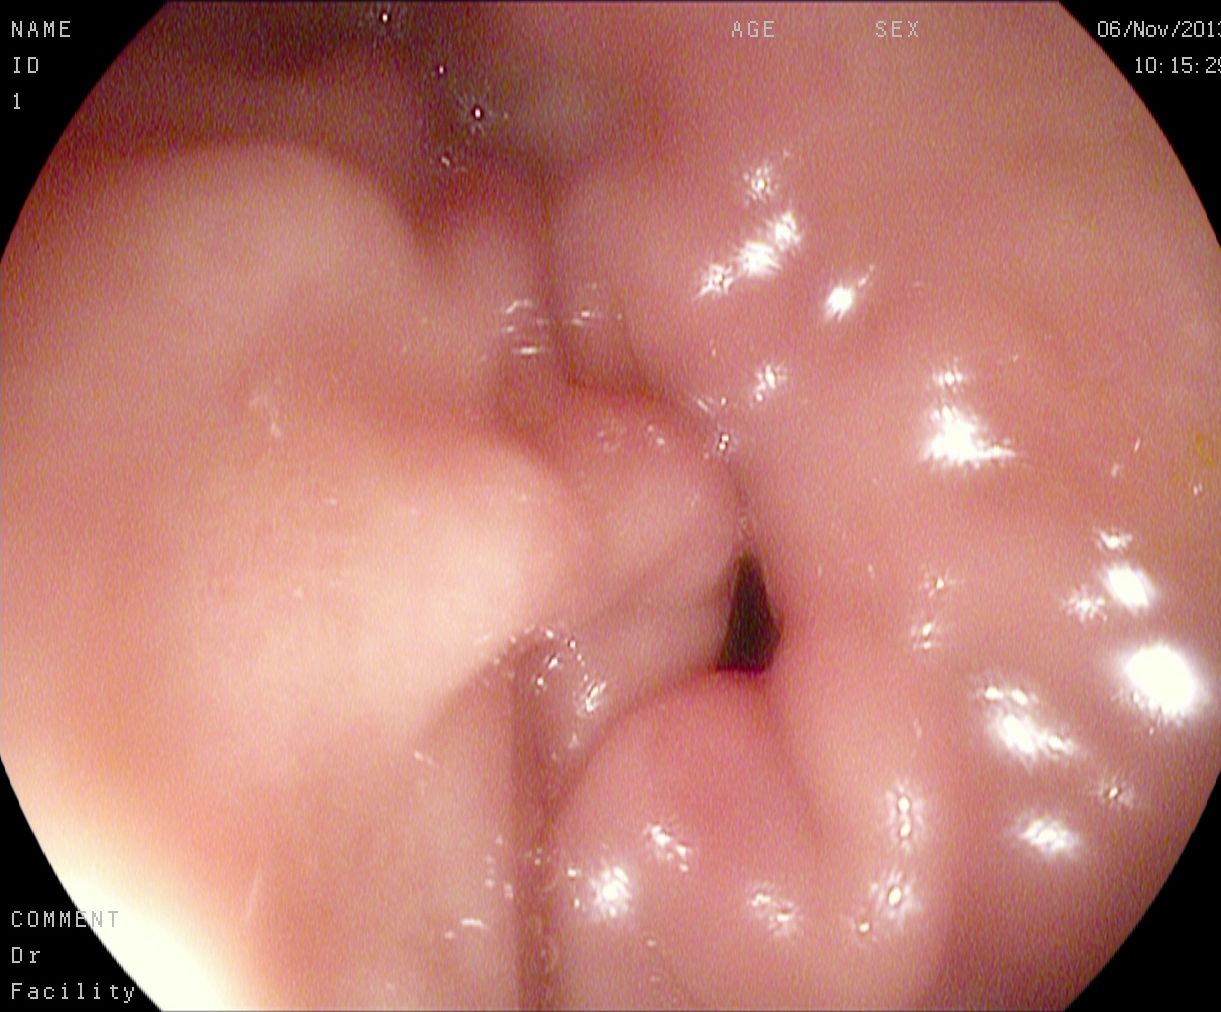Upper-GI endoscopy. Tract: upper GI tract. Finding: pylorus.